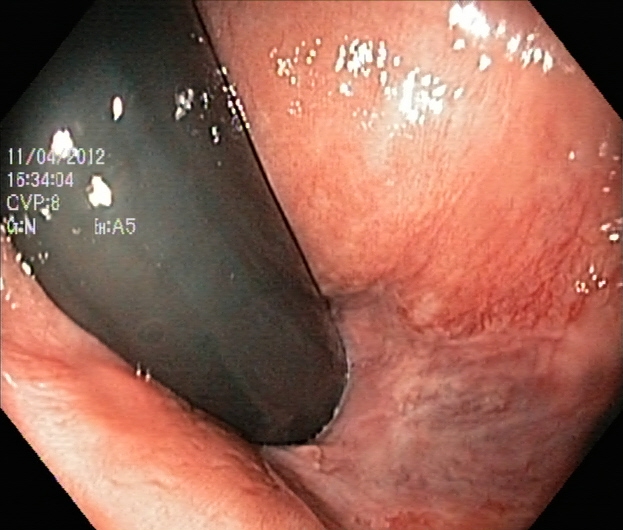Lower-GI endoscopy — rectum in retroflexion.